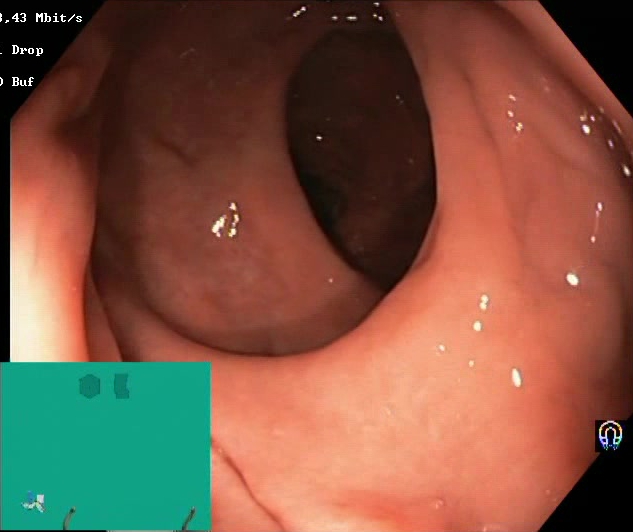PROCEDURE: Lower gastrointestinal endoscopy.
FINDINGS: BBPS score 2–3 (adequate preparation).